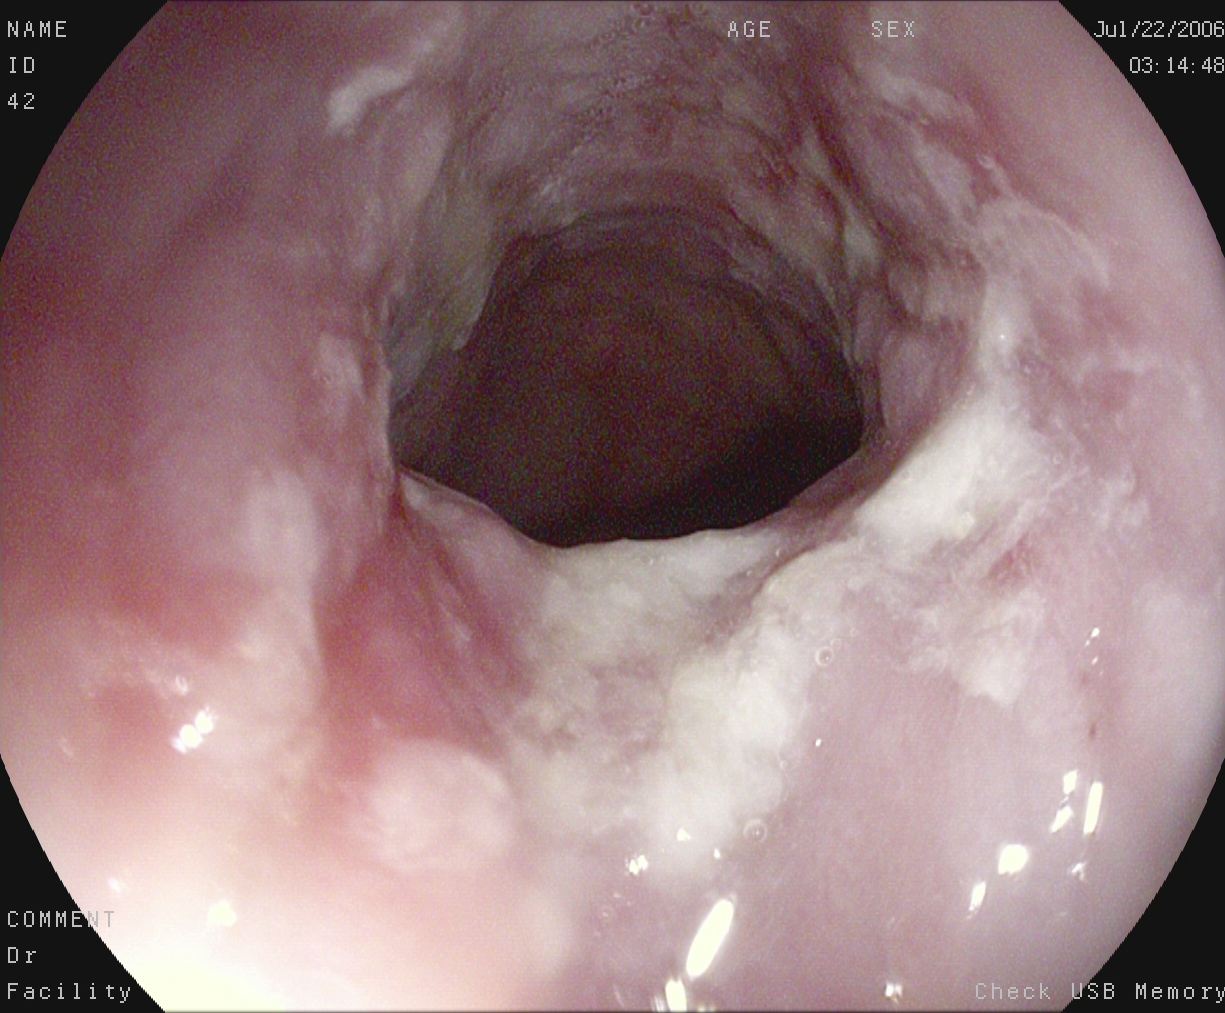This endoscopy frame shows reflux esophagitis, LA grade B–D.